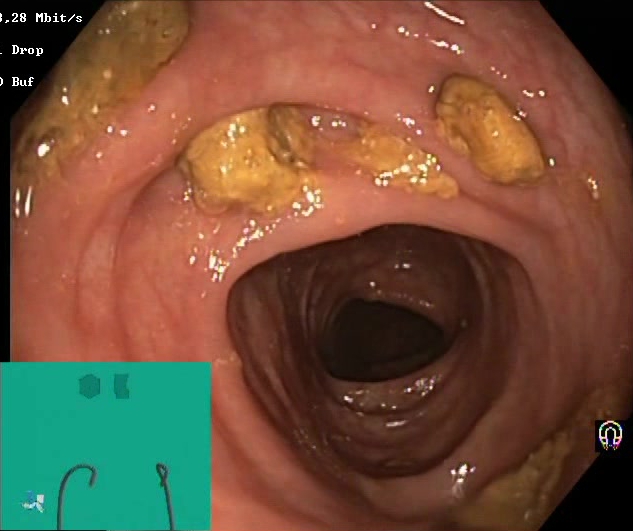Lower gastrointestinal endoscopy — impacted stool.